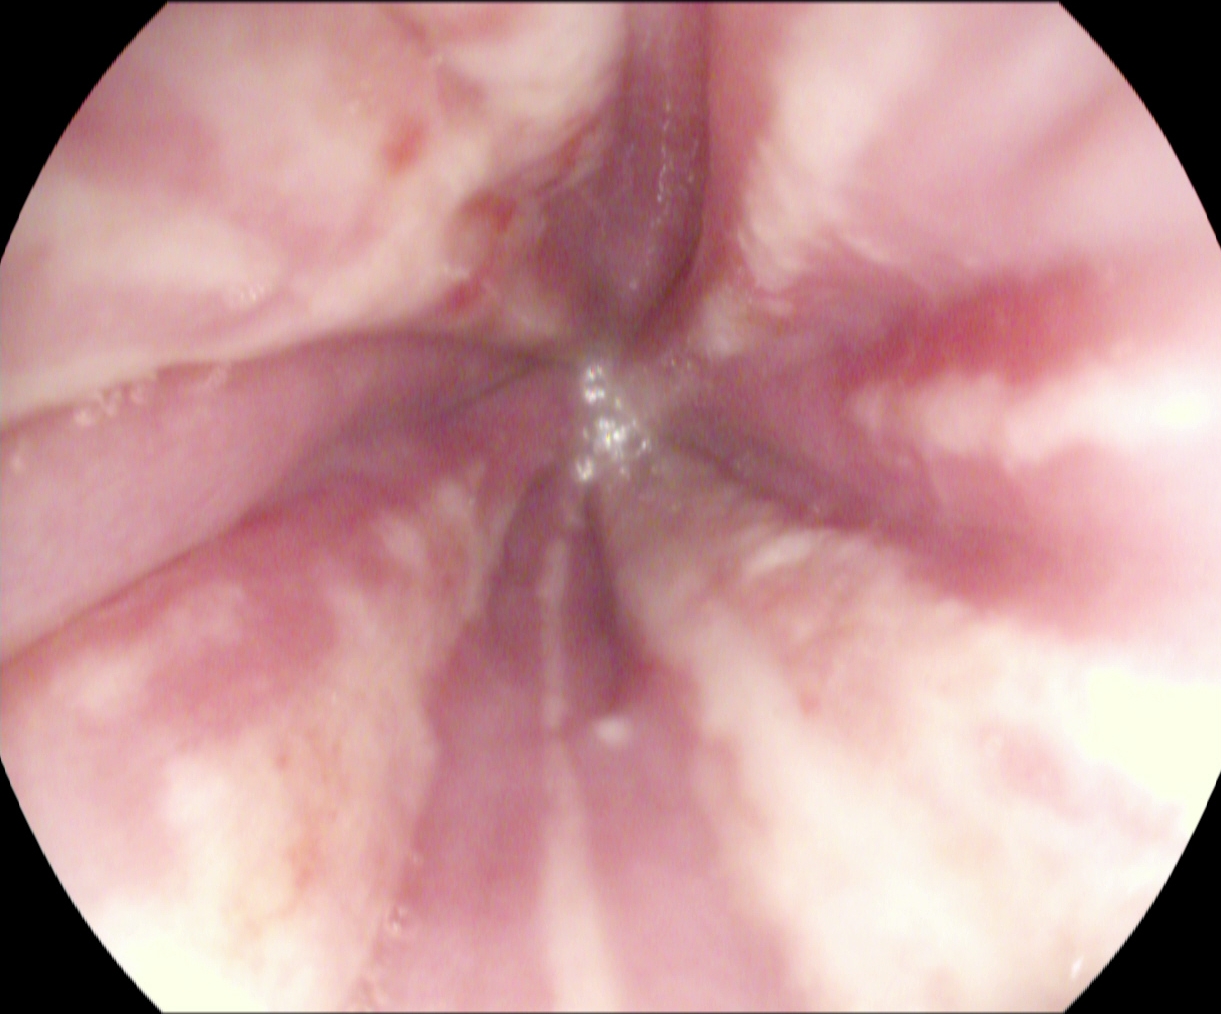Esophagogastroduodenoscopy. Pathological finding. Finding: reflux esophagitis, Los Angeles grade B–D.